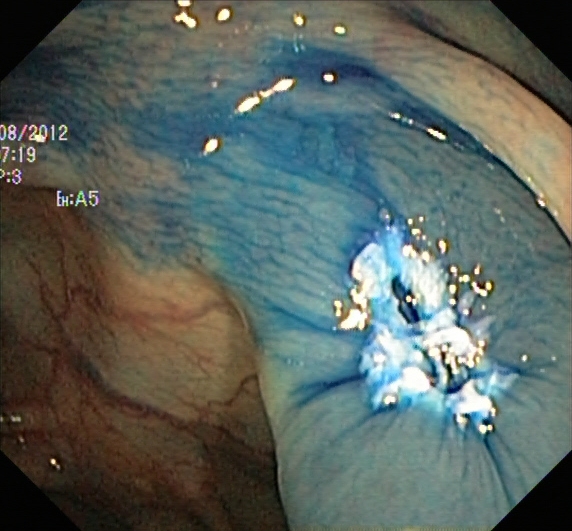{"modality": "lower-GI endoscopy", "tract": "lower GI tract", "finding": "dyed resection margins (post-polypectomy)"}